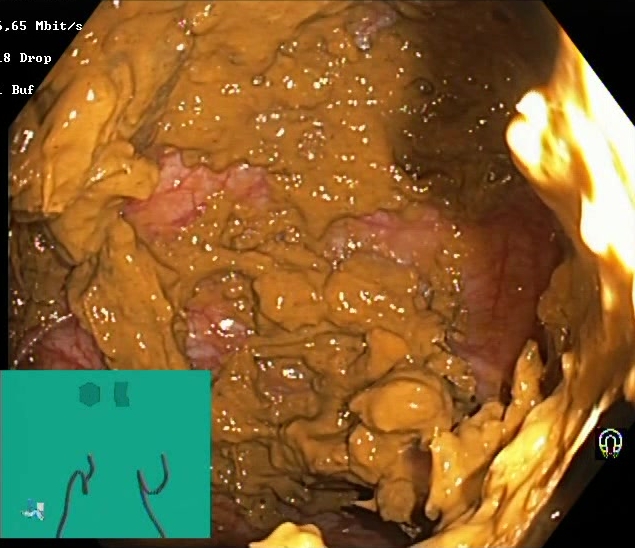{"modality": "colonoscopy", "tract": "lower GI tract", "category": "mucosal-view quality", "finding": "Boston Bowel Preparation Scale score 0\u20131 (inadequate preparation)"}